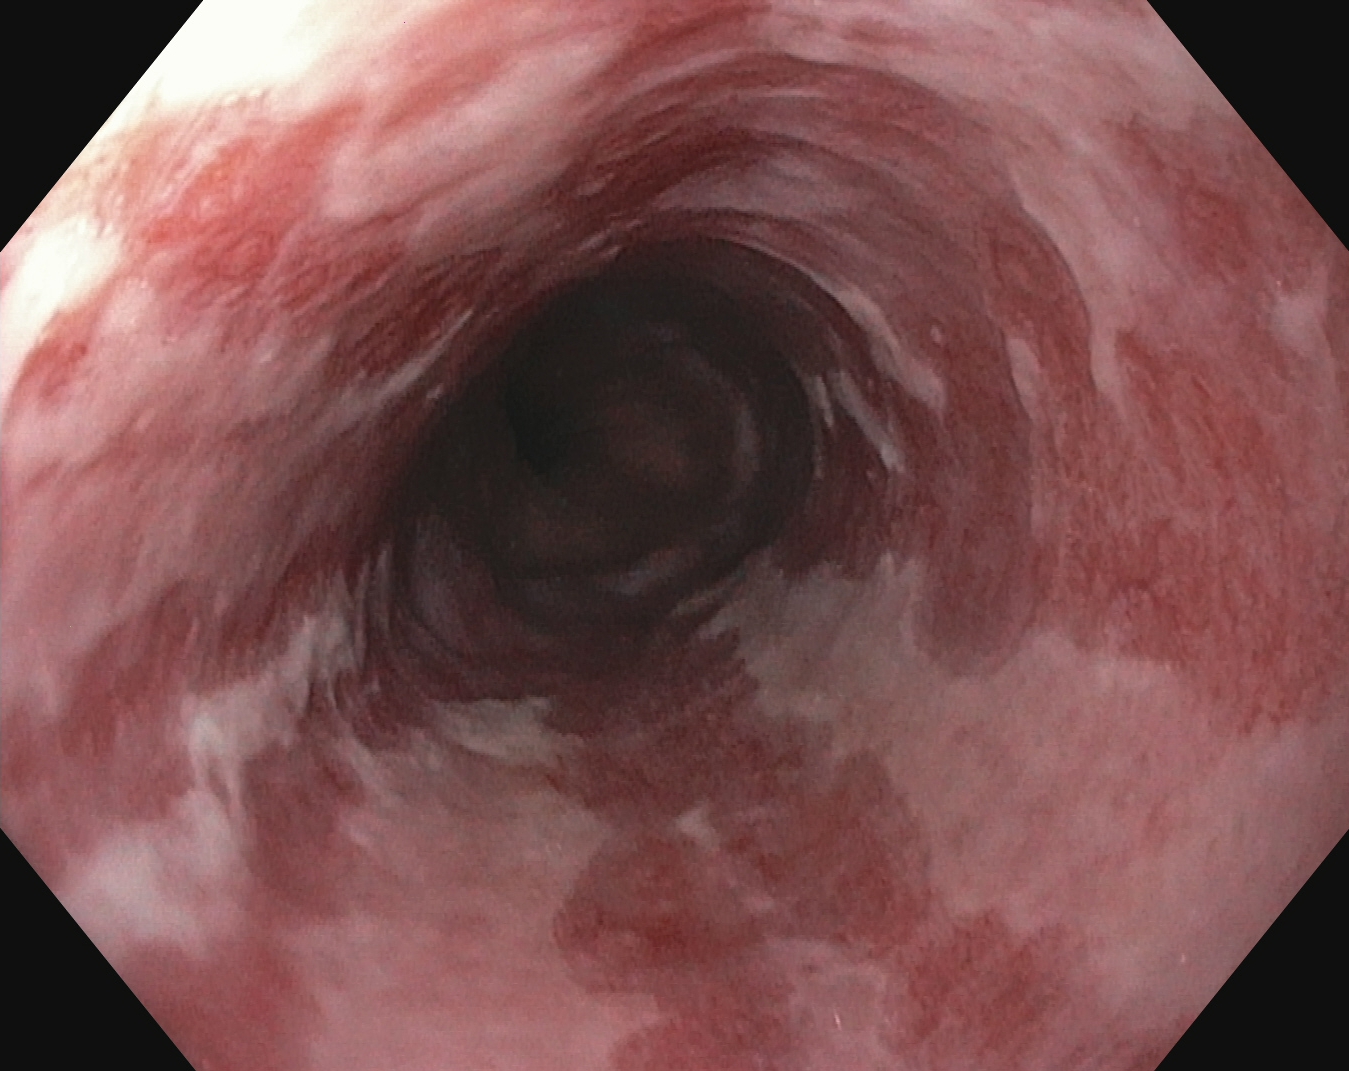Endoscopy image showing reflux esophagitis, LA grade B–D.